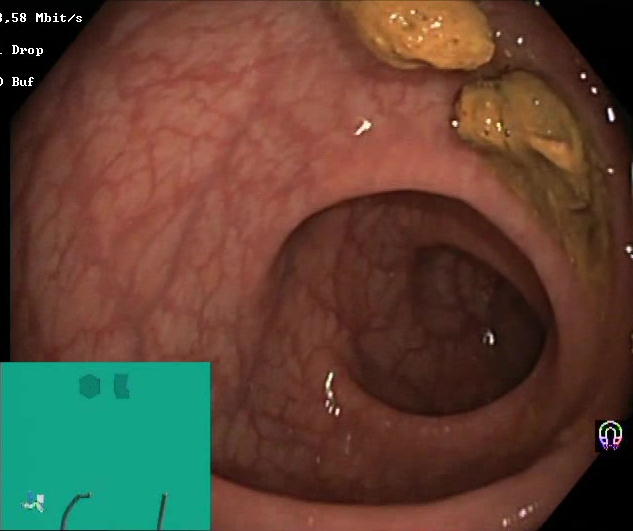modality: colonoscopy
finding: impacted stool